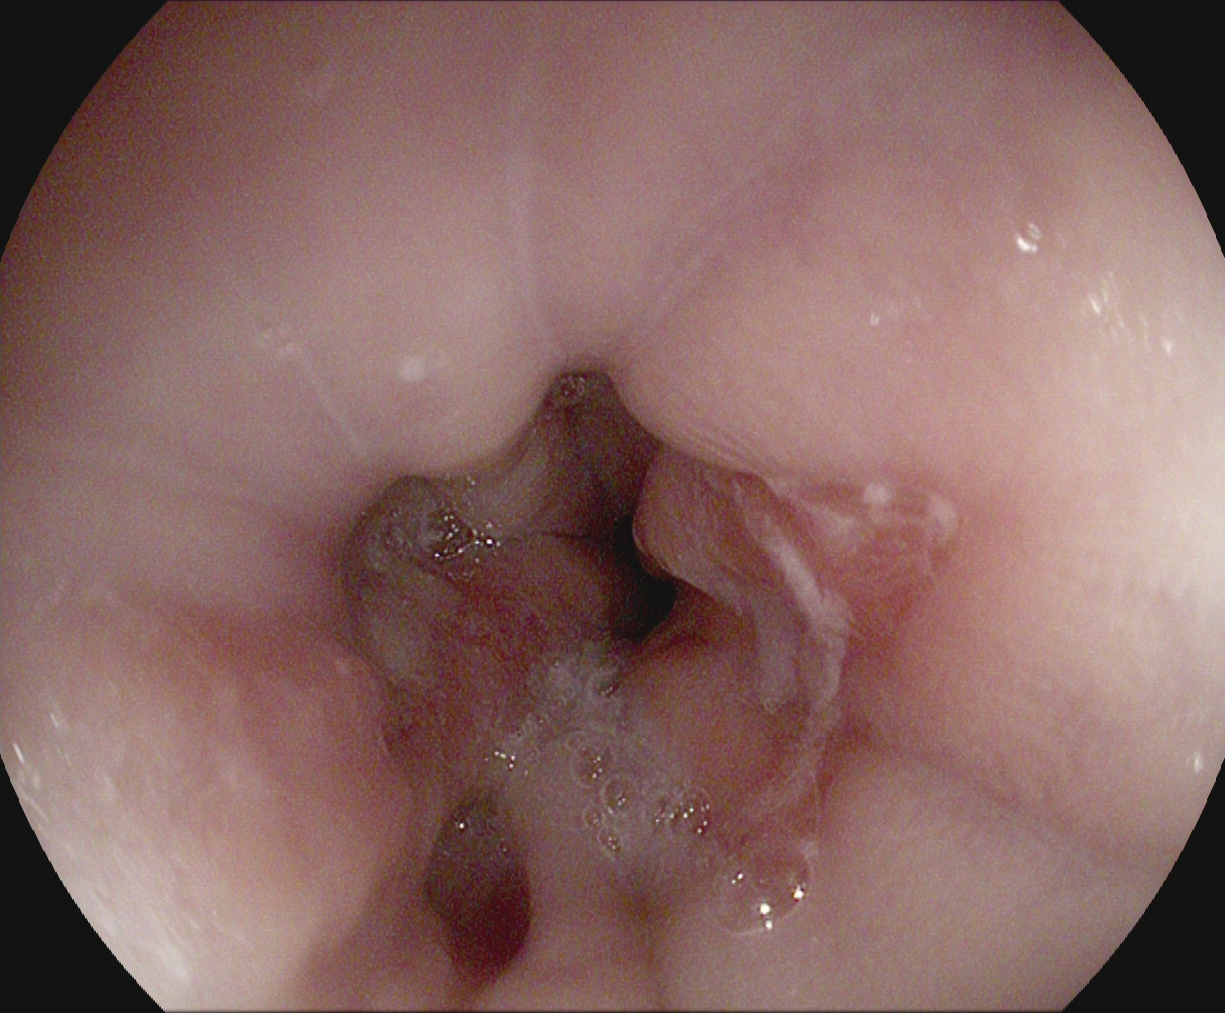{"modality": "gastroscopy", "tract": "upper GI tract", "finding": "reflux esophagitis, Los Angeles grade B\u2013D"}